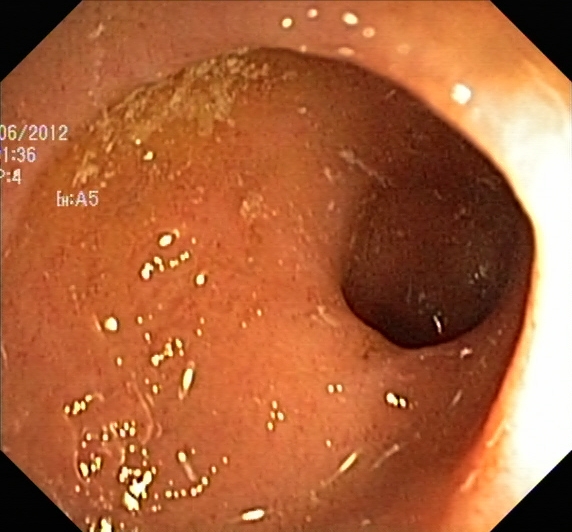Lower-GI endoscopy. Pathological finding. Finding: ulcerative colitis, Mayo endoscopic subscore 2.